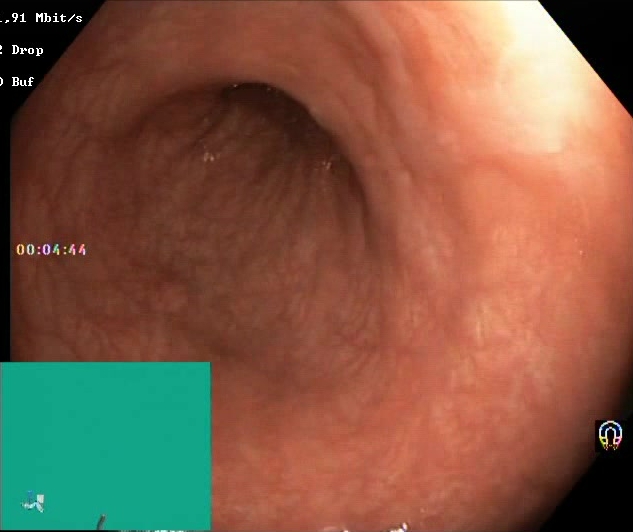This endoscopic image shows Boston Bowel Preparation Scale score 2–3 (adequate preparation).